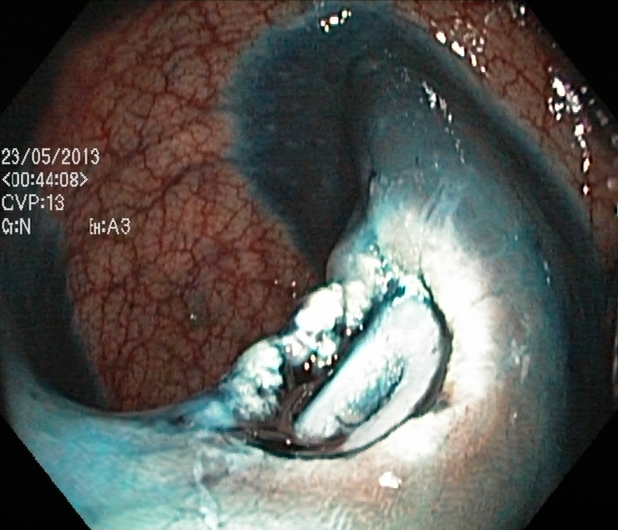Colonoscopy. Finding: dyed resection margins (post-polypectomy).